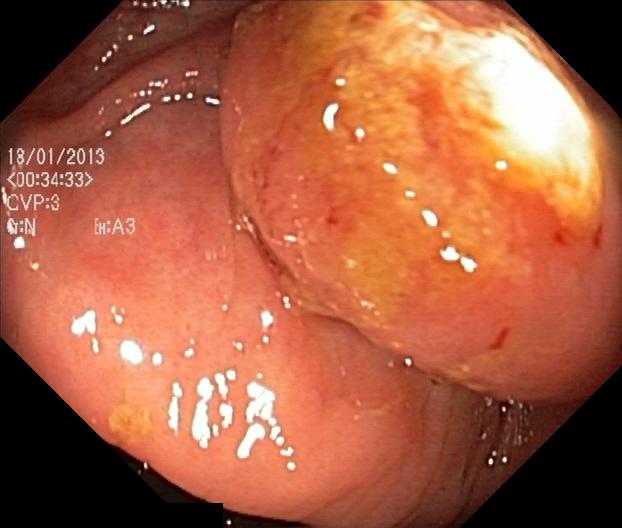Colorectal polyp(s).